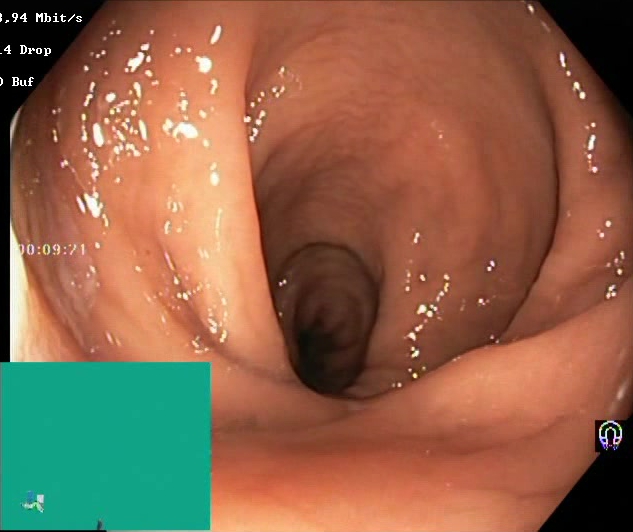modality: lower gastrointestinal endoscopy; tract: lower GI tract; finding: Boston Bowel Preparation Scale score 2–3 (adequate preparation)